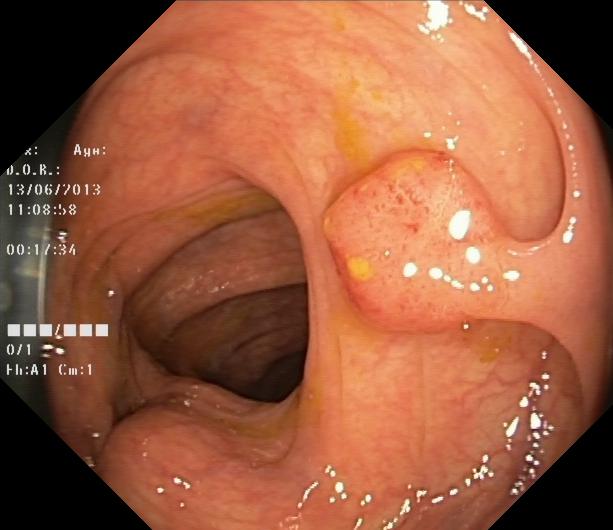modality: lower gastrointestinal endoscopy | finding: colorectal polyp(s)